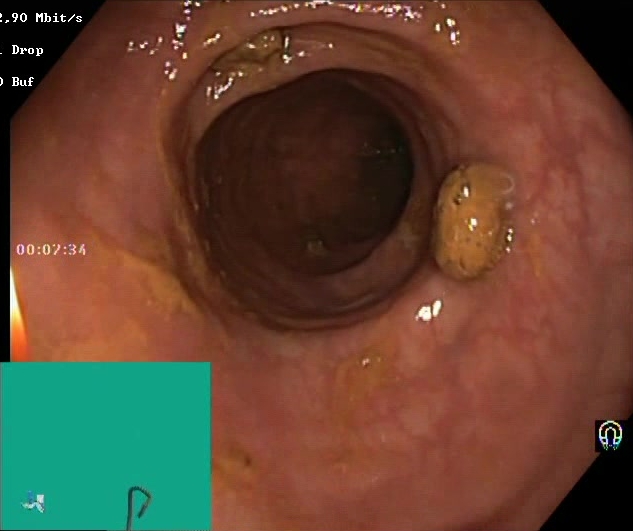Lower gastrointestinal endoscopy. Tract: lower GI tract. Mucosal-view quality. Finding: BBPS score 2–3 (adequate preparation).